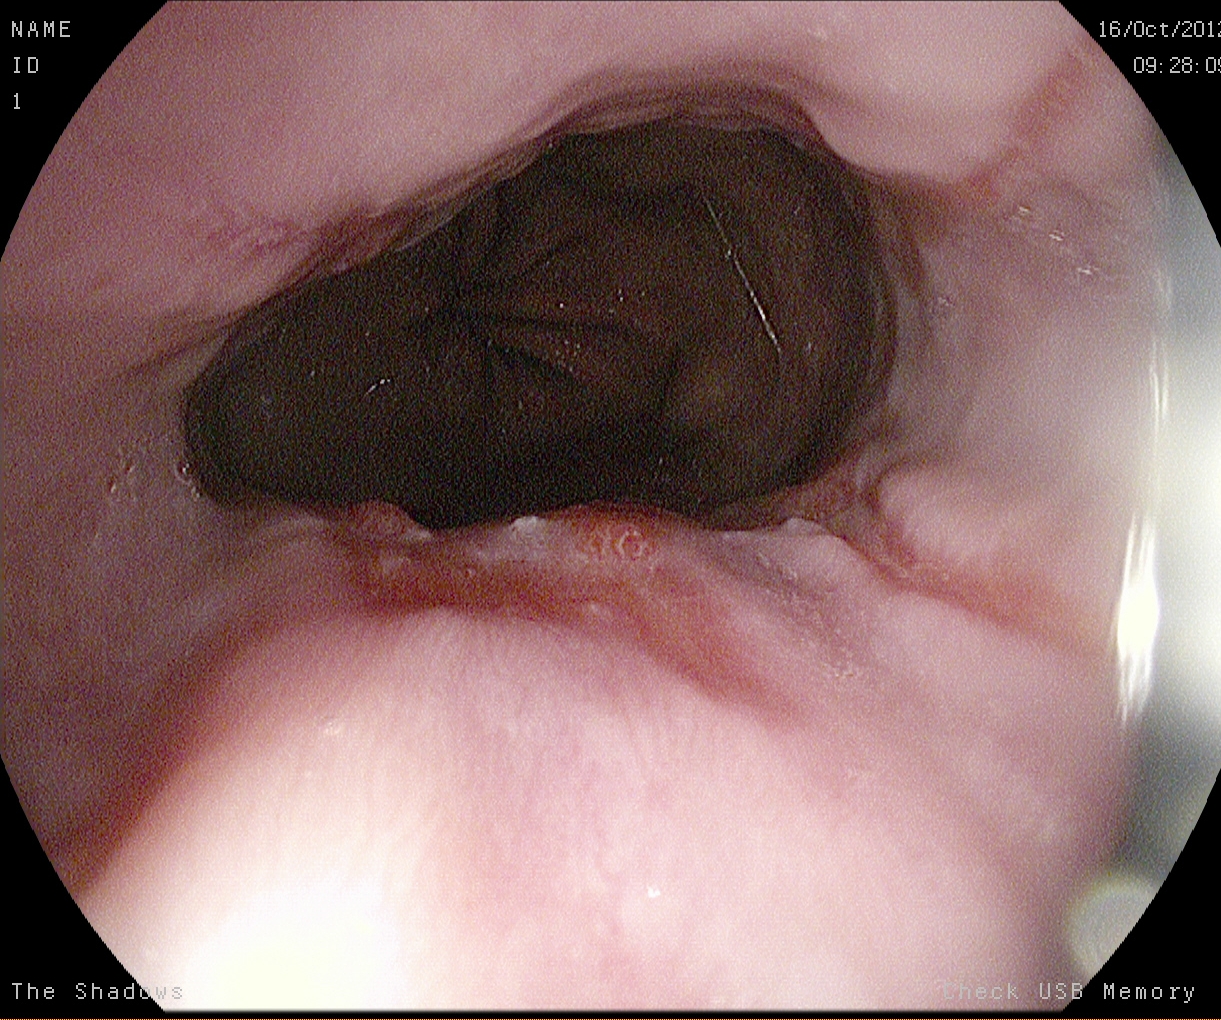This endoscopic image shows reflux esophagitis, LA grade B–D.